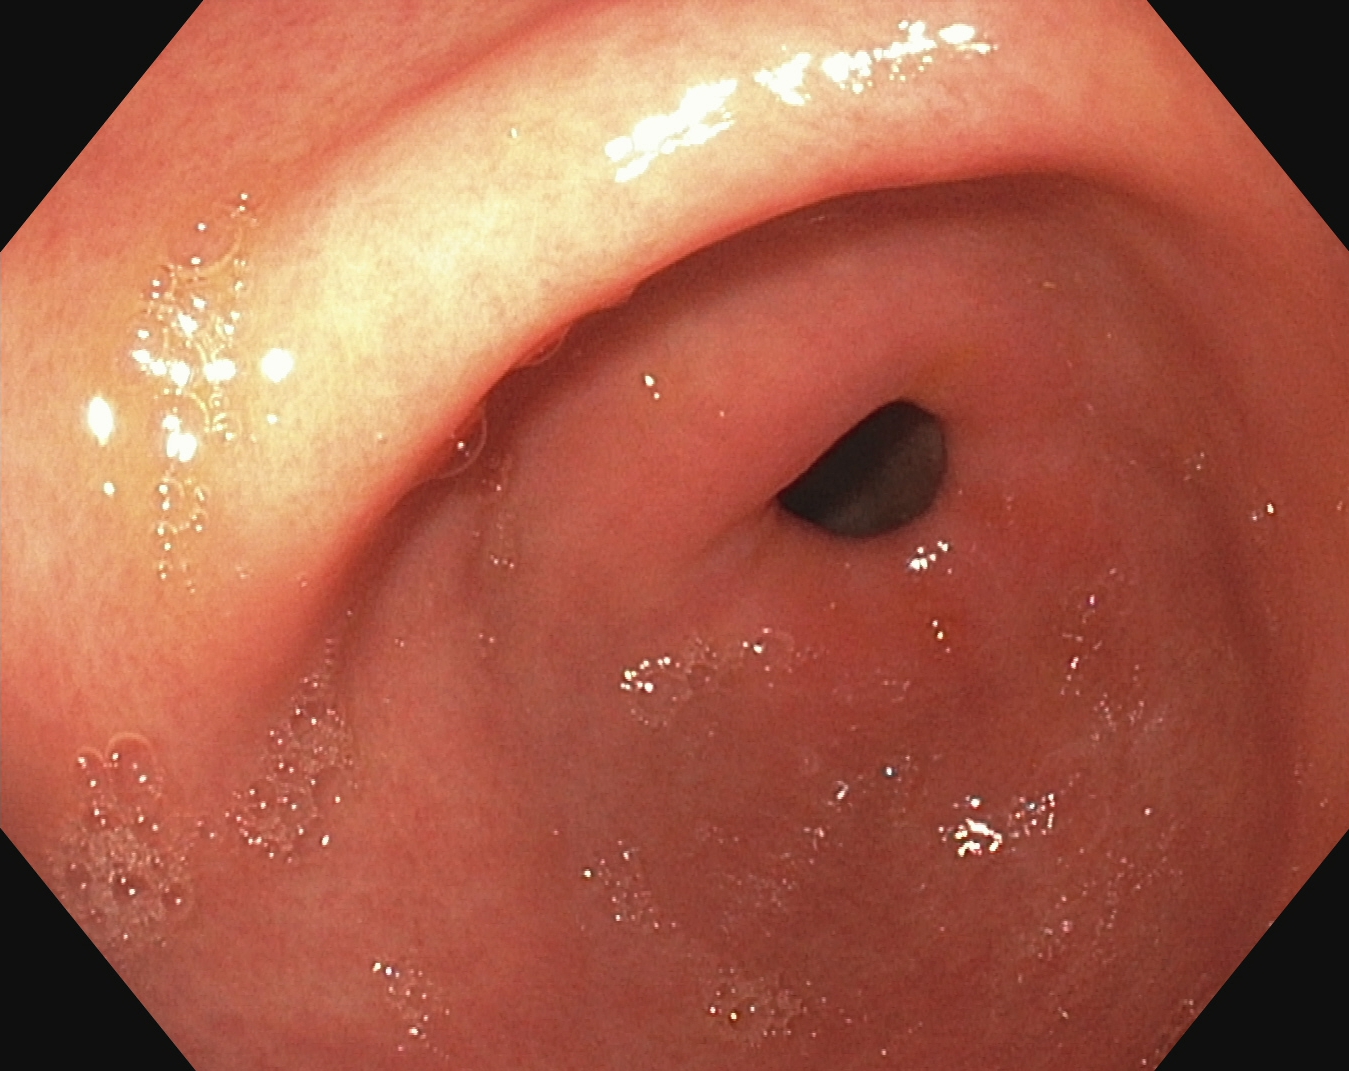EGD. Tract: upper GI tract. Anatomical landmark. Finding: pylorus.